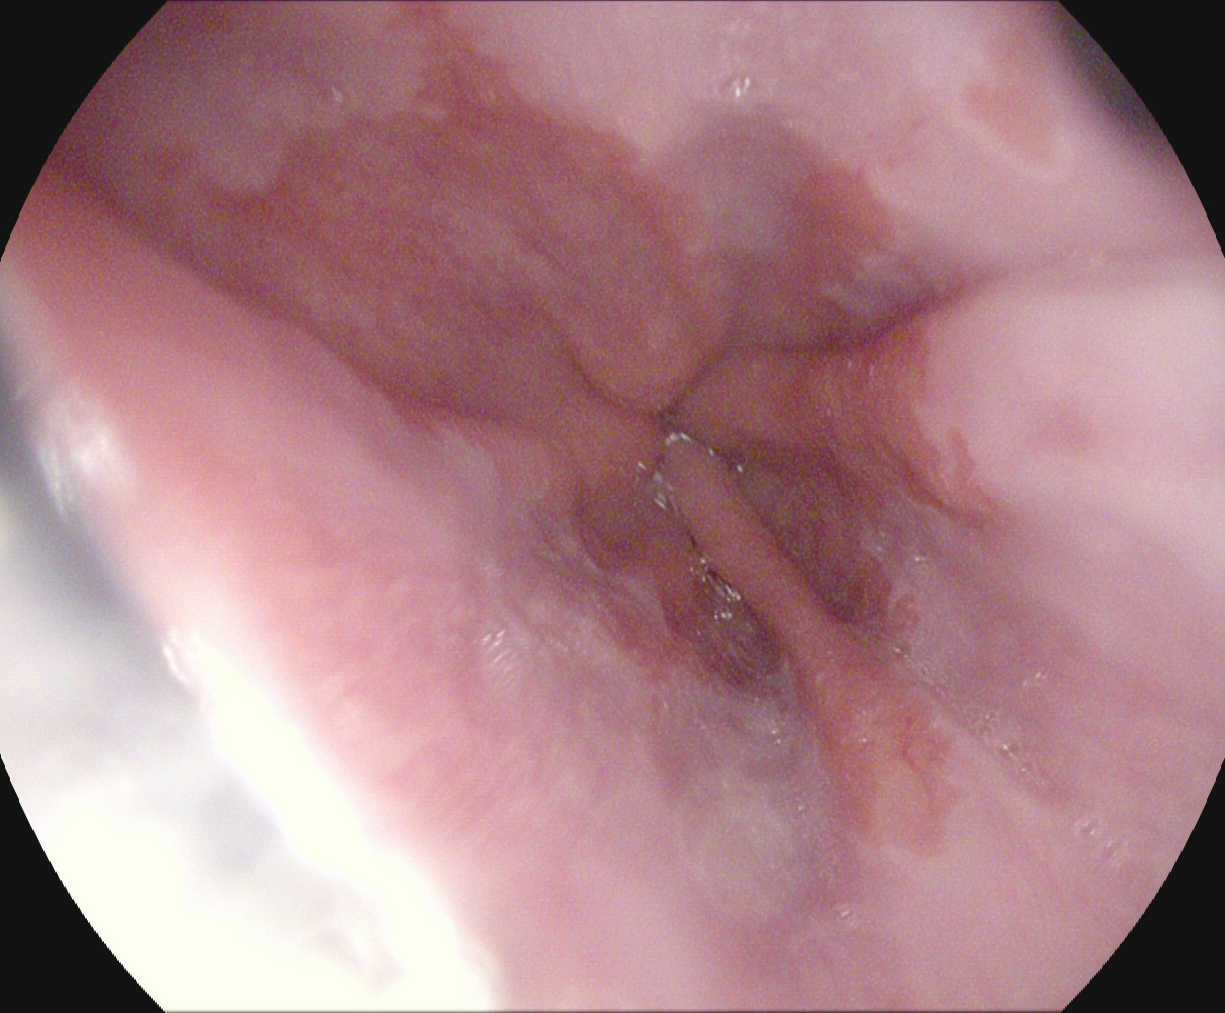Upper-GI endoscopy. Finding: reflux esophagitis, Los Angeles grade A.